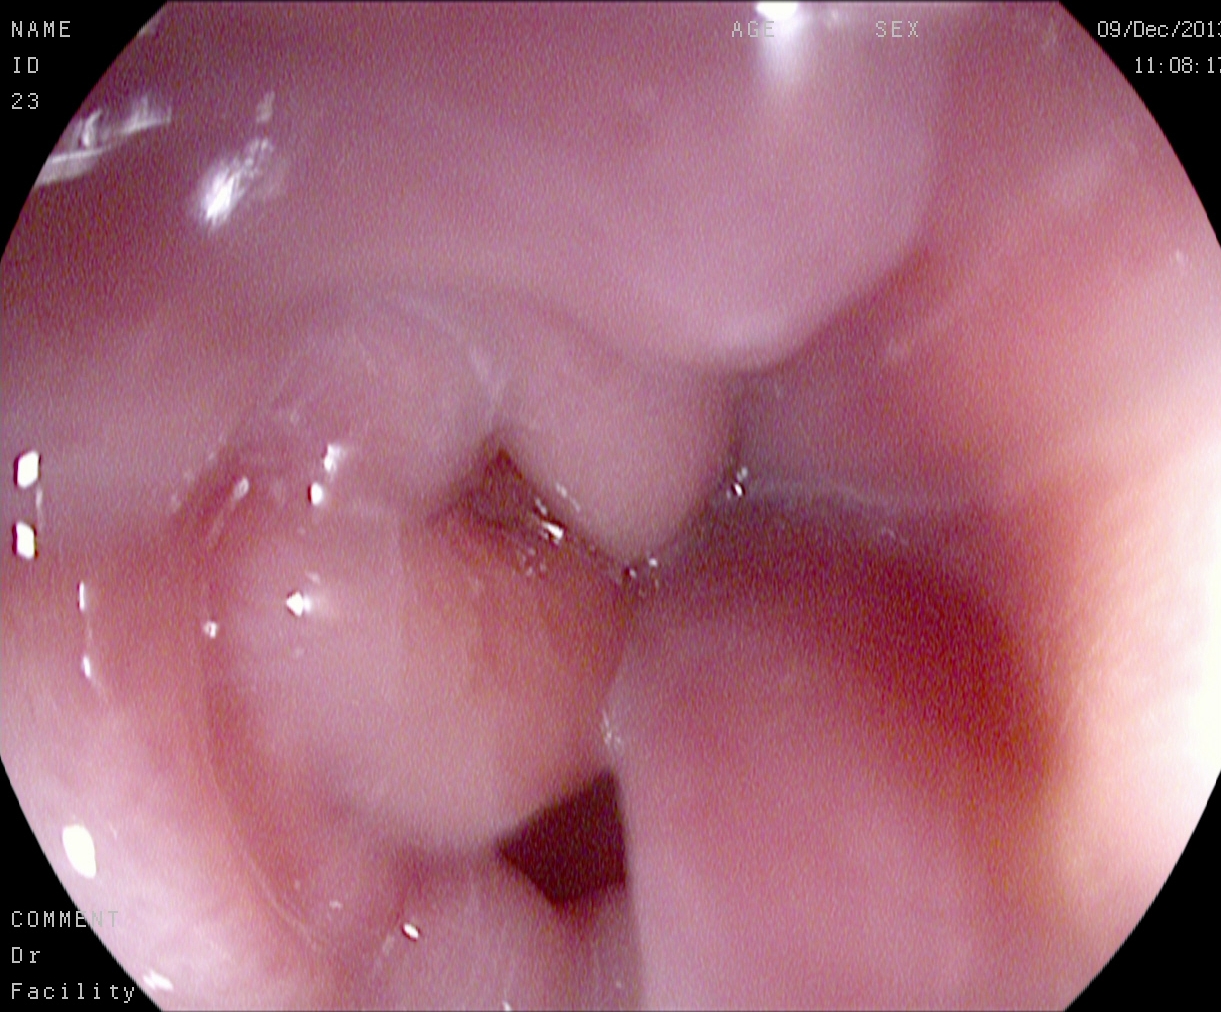Z-line (gastroesophageal junction).